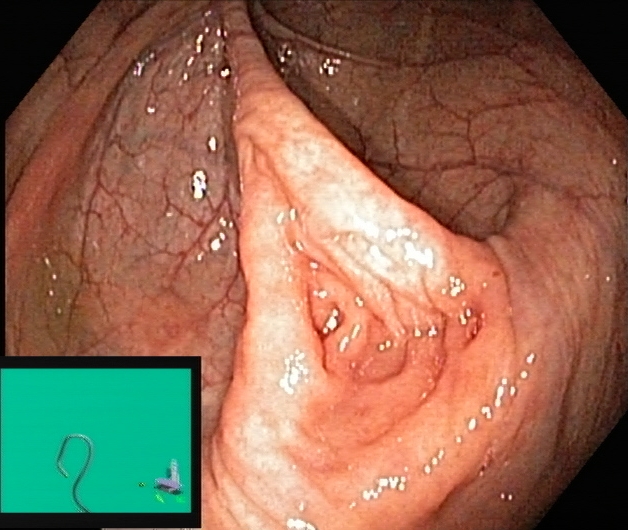Endoscopy image of the lower GI tract showing cecum.